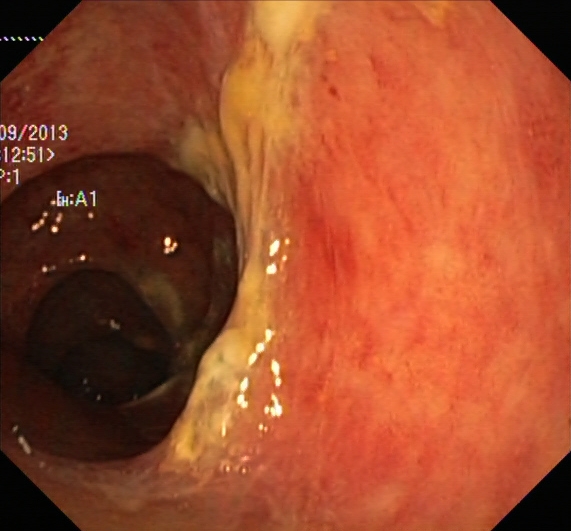Lower-GI endoscopy — ulcerative colitis, Mayo endoscopic subscore 2.